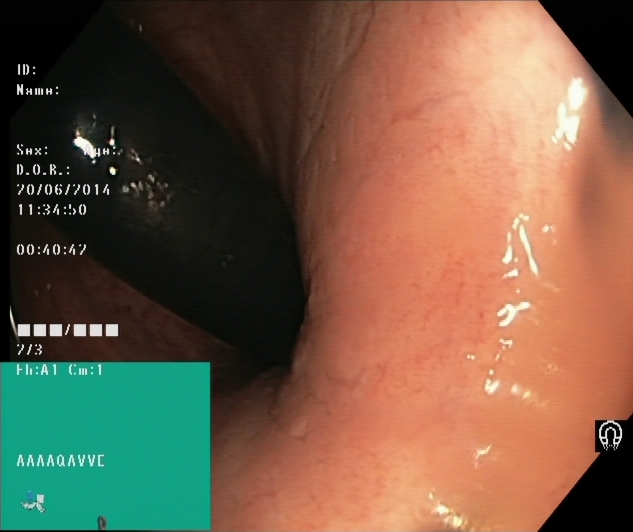PROCEDURE: Colonoscopy.
FINDINGS: Rectum in retroflexion.